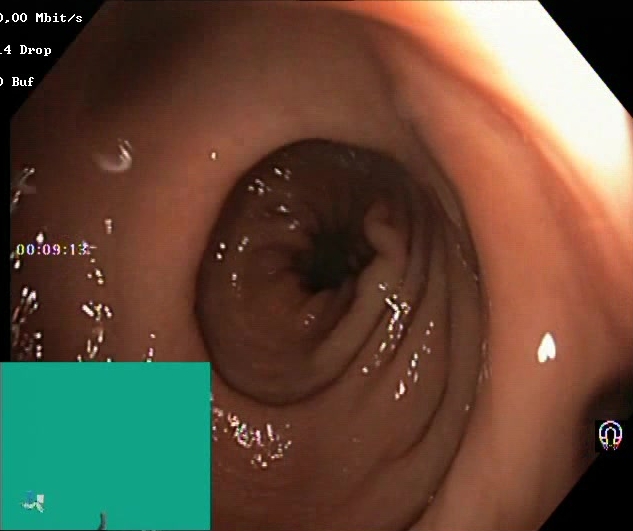This endoscopy frame shows BBPS score 2–3 (adequate preparation).